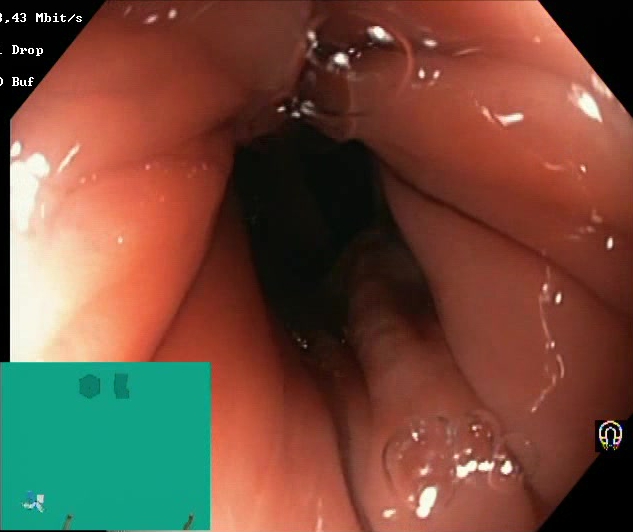Lower gastrointestinal endoscopy. Tract: lower GI tract. Finding: Boston Bowel Preparation Scale score 2–3 (adequate preparation).